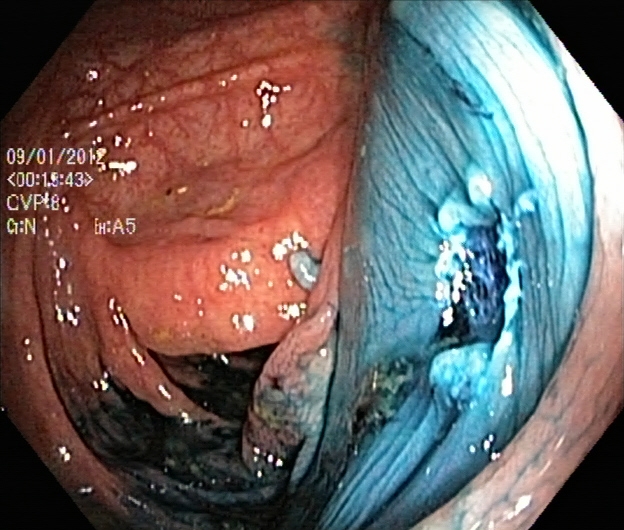This endoscopic image shows dyed resection margins (post-polypectomy).